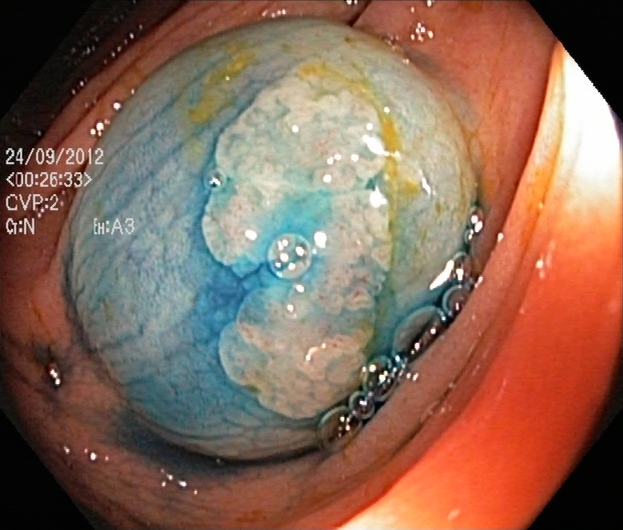This endoscopic image of the lower GI tract shows dyed and lifted polyp (pre-resection).